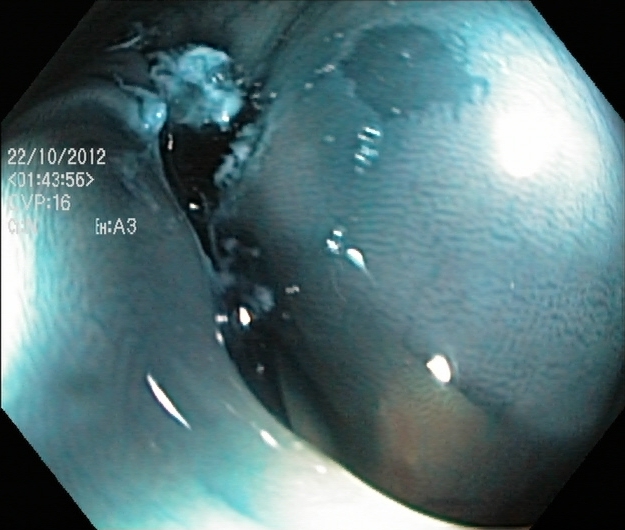Lower gastrointestinal endoscopy — dyed resection margins (post-polypectomy).